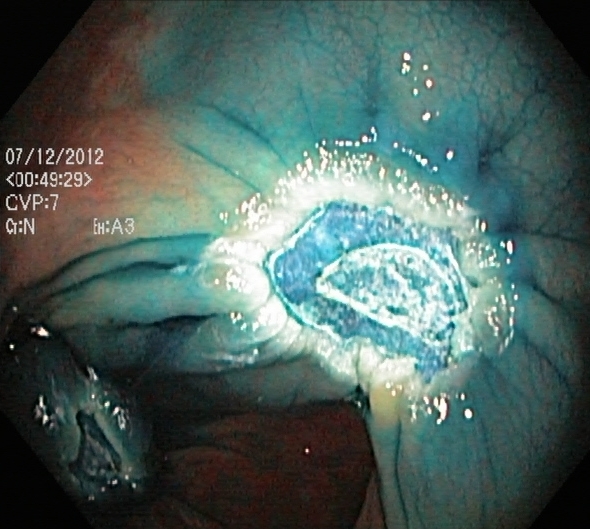Dyed resection margins (post-polypectomy).